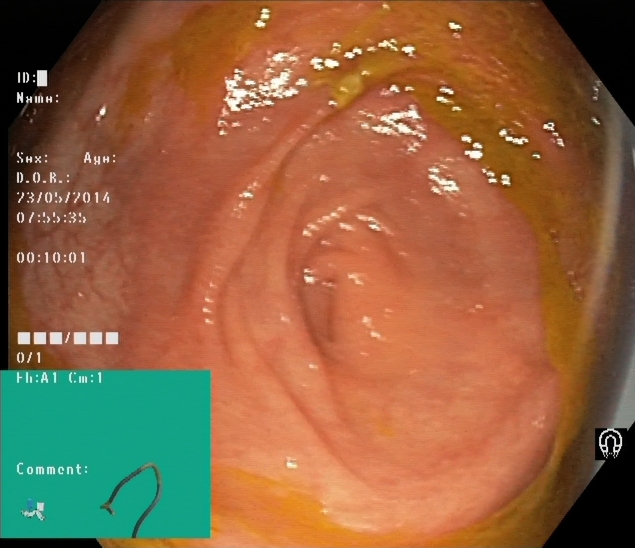Lower-GI endoscopy — cecum.